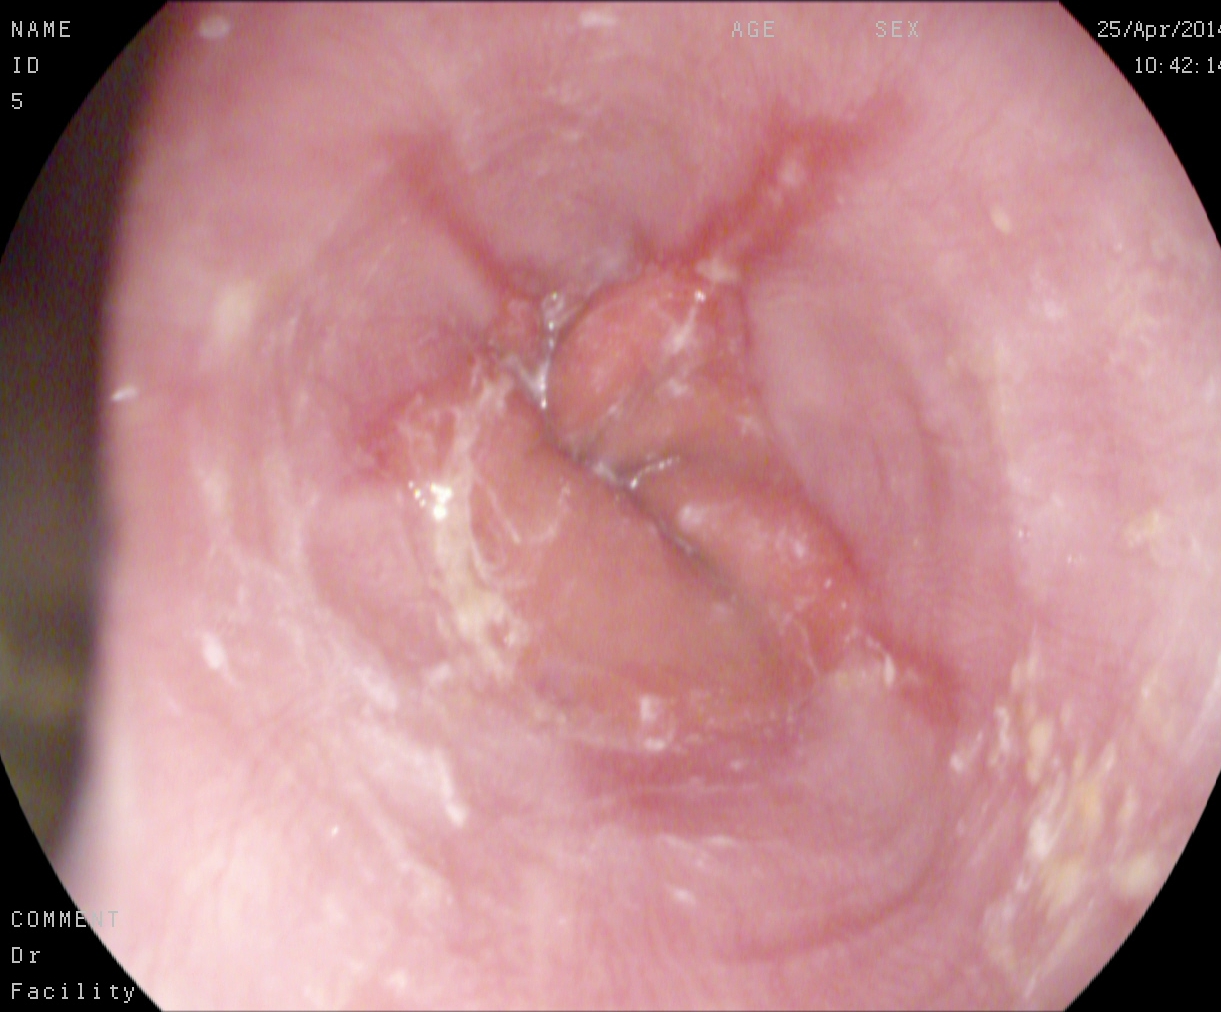{"modality": "esophagogastroduodenoscopy", "tract": "upper GI tract", "finding": "reflux esophagitis, Los Angeles grade A"}